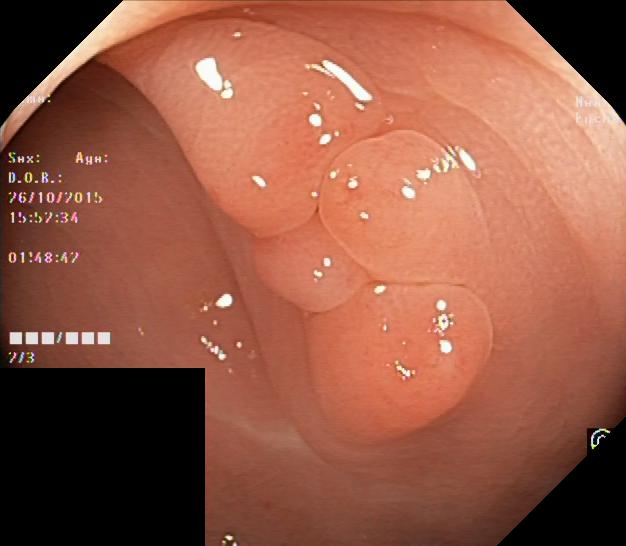This endoscopy frame of the lower GI tract shows colorectal polyp(s).